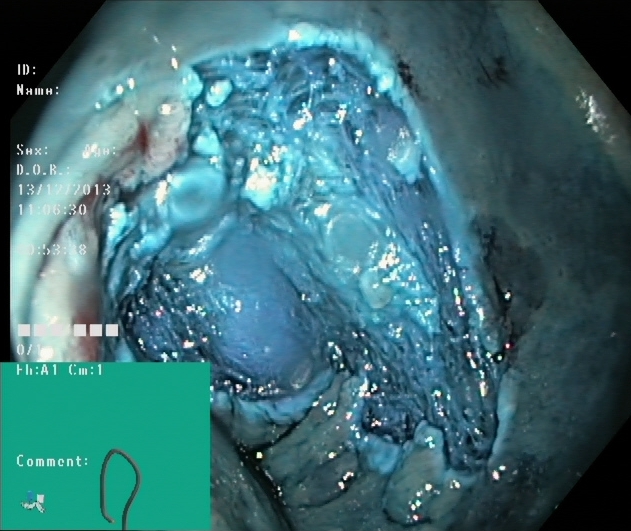Dyed resection margins (post-polypectomy).